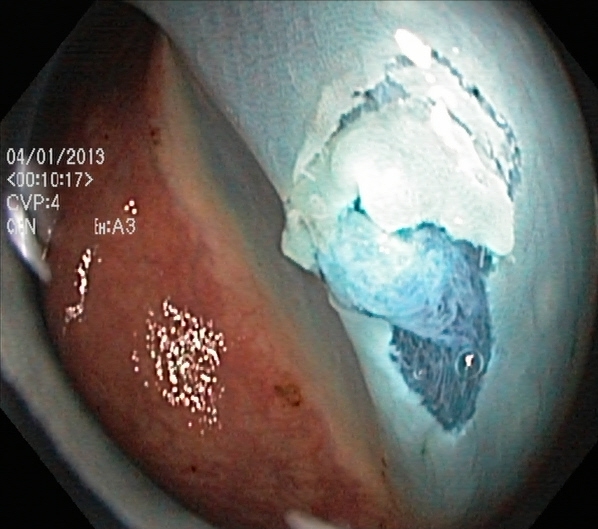Lower gastrointestinal endoscopy. Tract: lower GI tract. Finding: dyed resection margins (post-polypectomy).